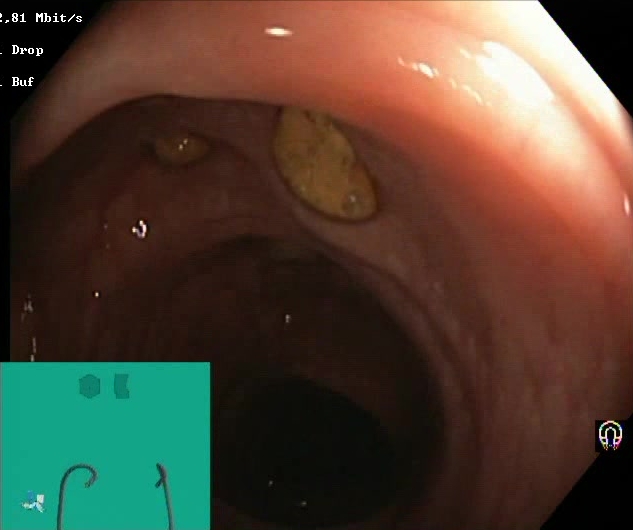Lower-GI endoscopy image of the lower GI tract showing impacted stool.